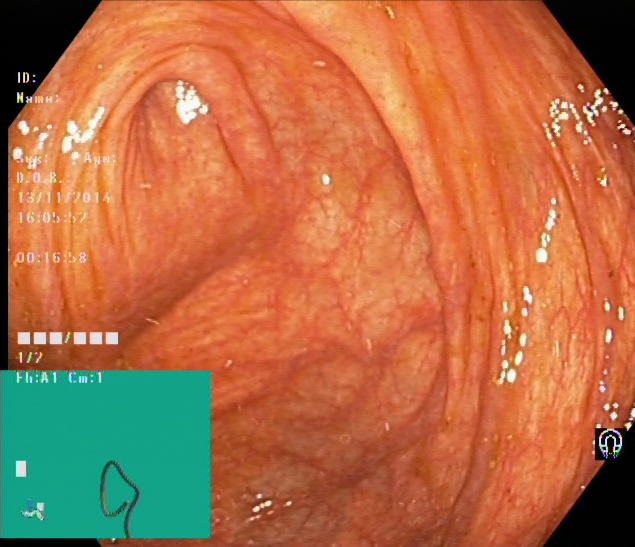{"modality": "lower gastrointestinal endoscopy", "category": "anatomical landmark", "finding": "cecum"}